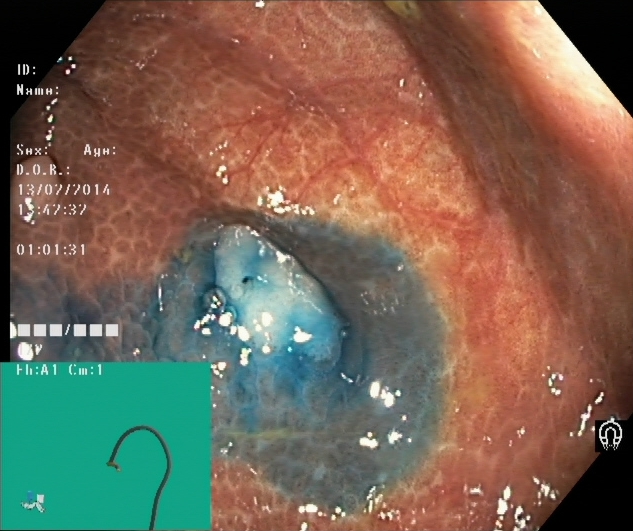This endoscopy frame shows dyed and lifted polyp (pre-resection).